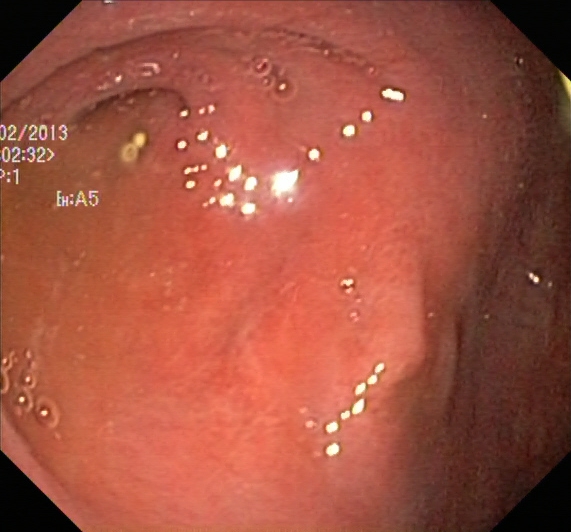UC, Mayo endoscopic subscore 2.